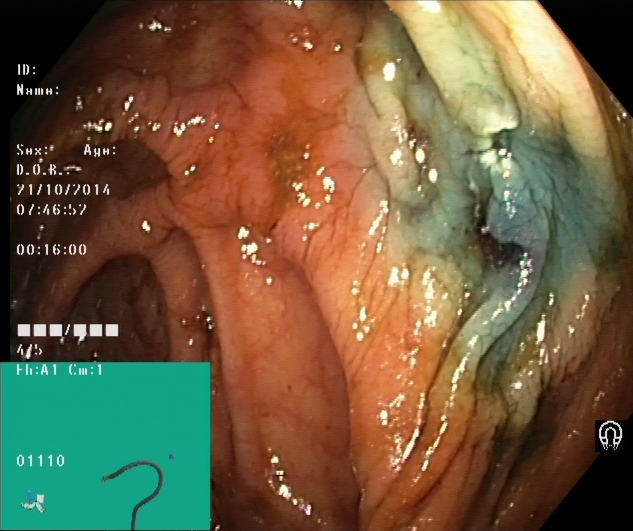Colonoscopy — dyed resection margins (post-polypectomy).